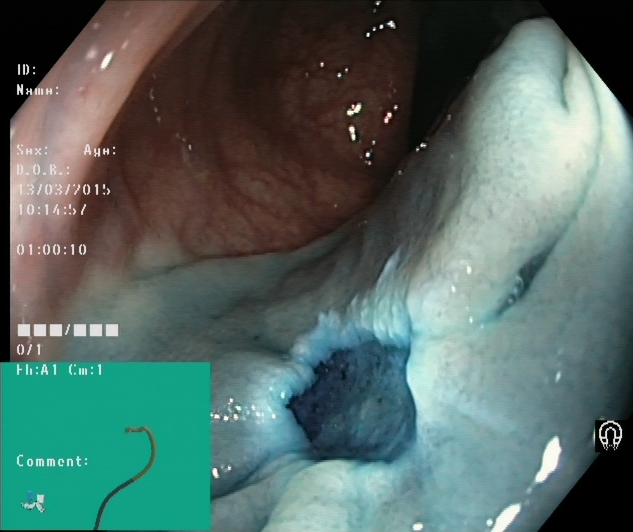Endoscopy image of the lower GI tract showing dyed resection margins (post-polypectomy).